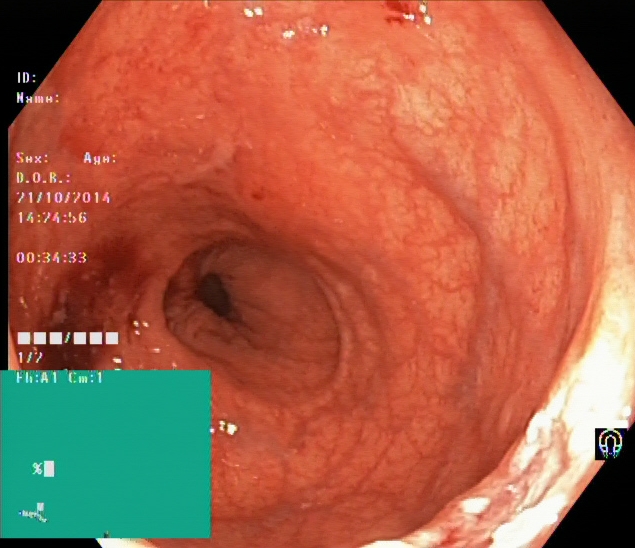Colonoscopy. Finding: UC, Mayo endoscopic subscore 0–1.